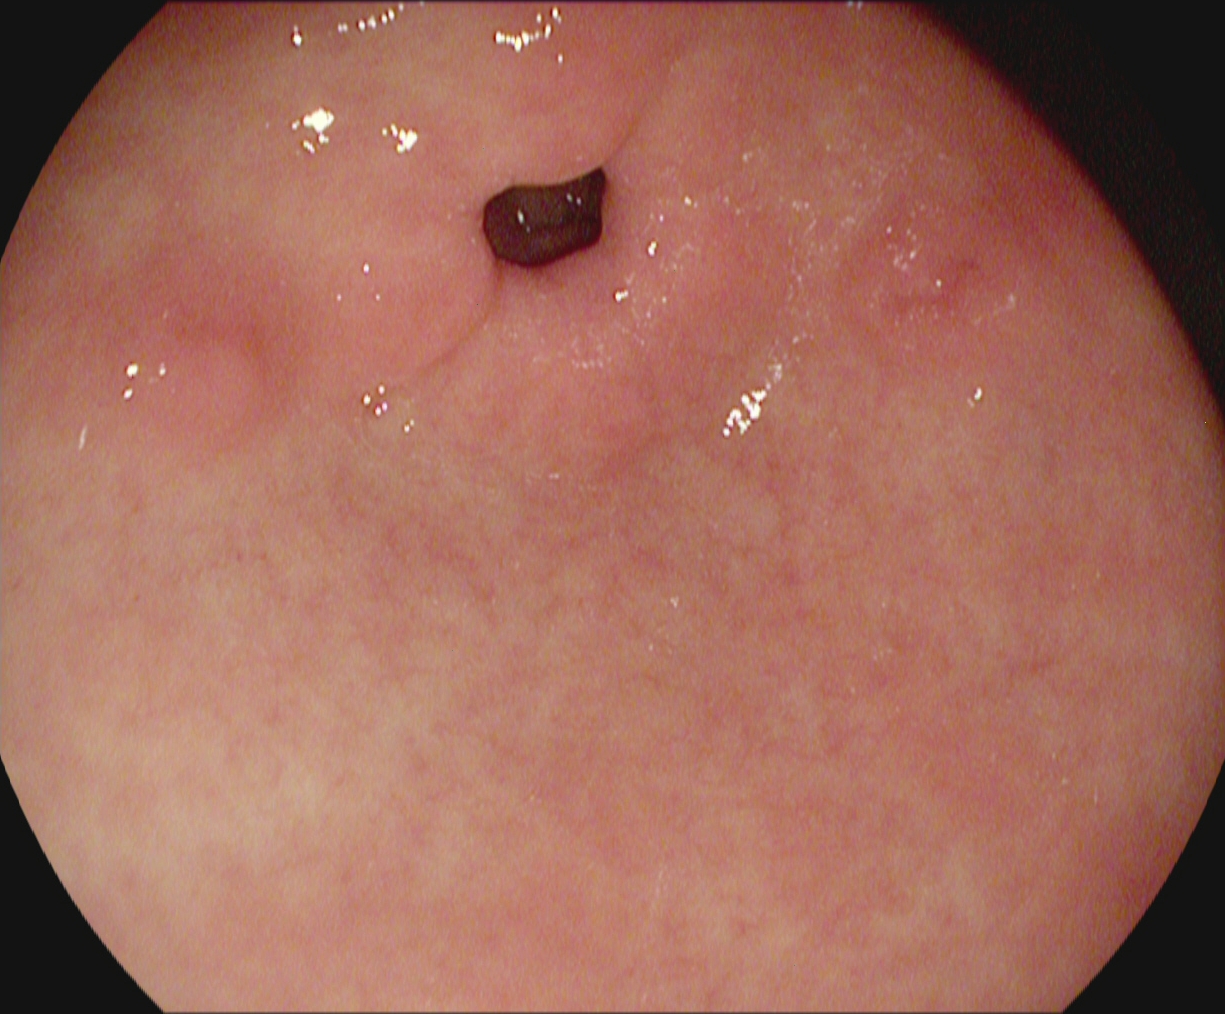modality: esophagogastroduodenoscopy
finding: pylorus